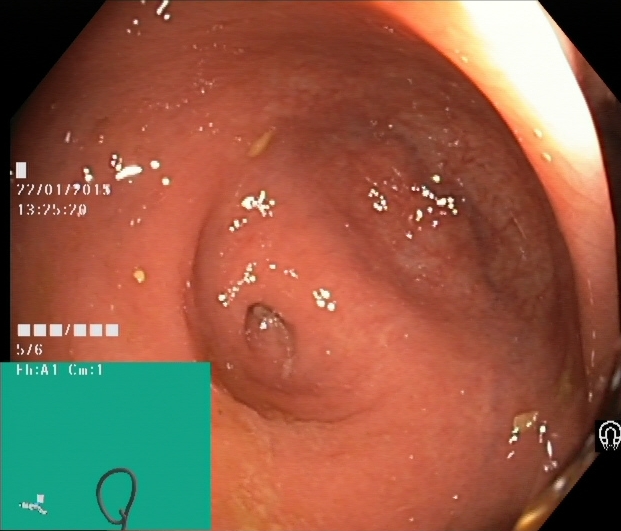cecum.